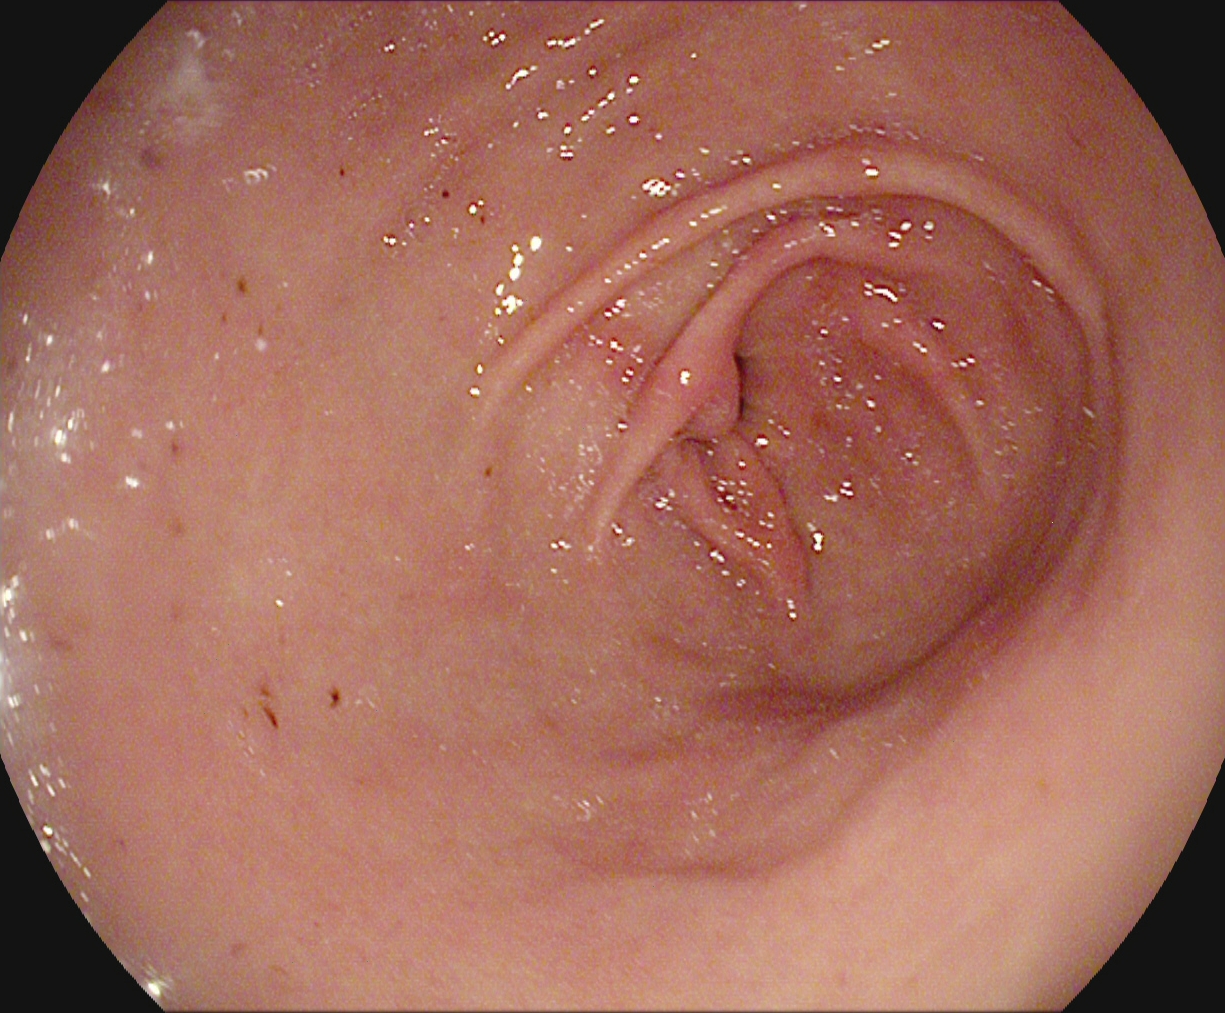modality: EGD | category: anatomical landmark | finding: pylorus